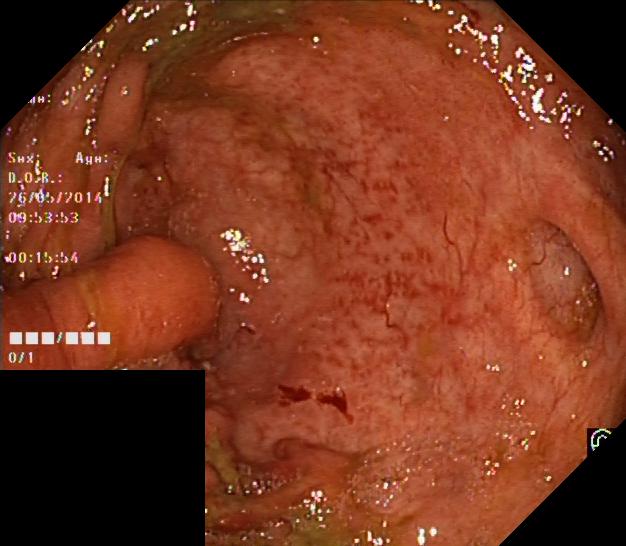modality: lower gastrointestinal endoscopy; tract: lower GI tract; finding: colorectal polyp(s)